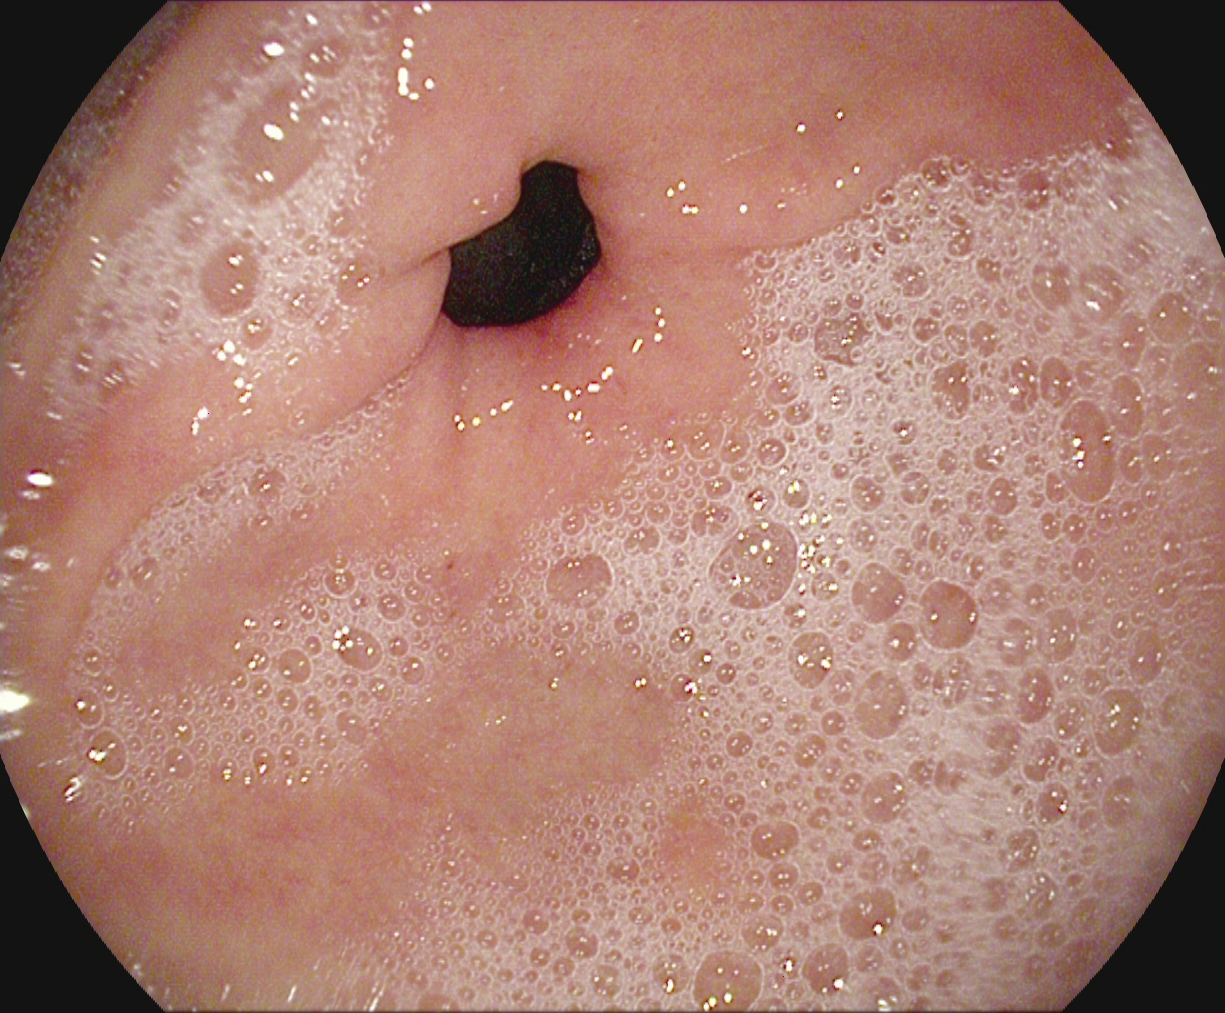pylorus.